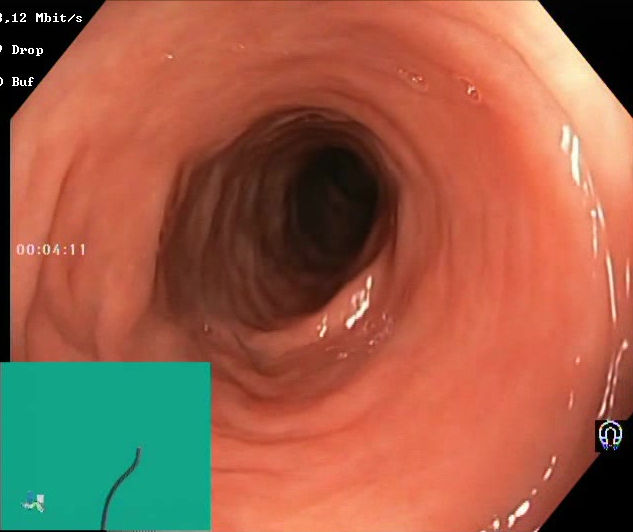Colonoscopy. Finding: Boston Bowel Preparation Scale score 2–3 (adequate preparation).